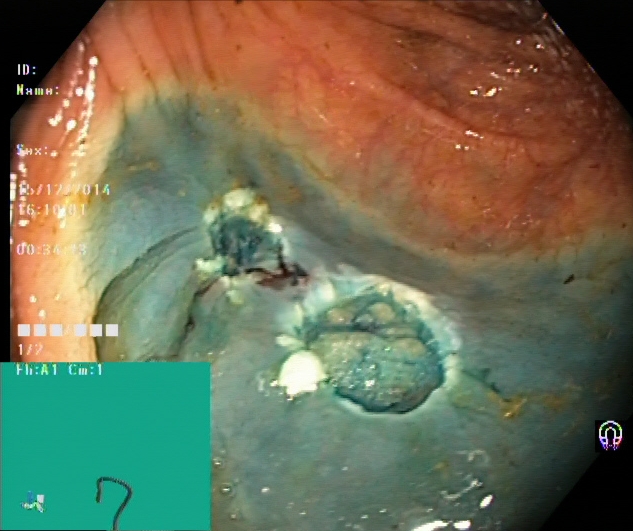{"modality": "lower-GI endoscopy", "finding": "dyed resection margins (post-polypectomy)"}